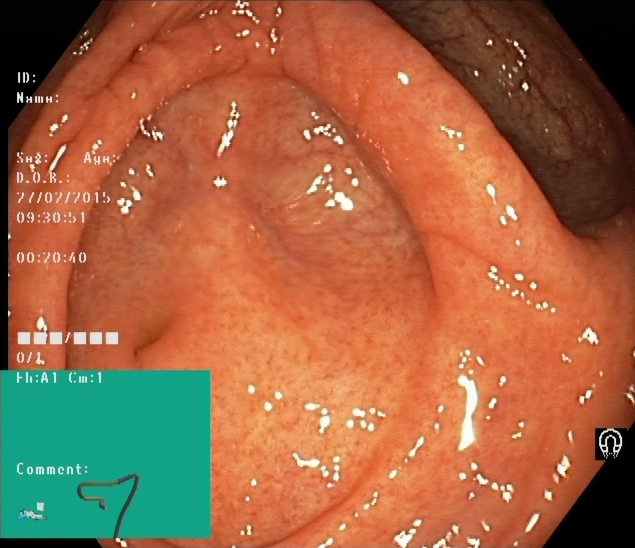This endoscopic image of the lower GI tract shows cecum.